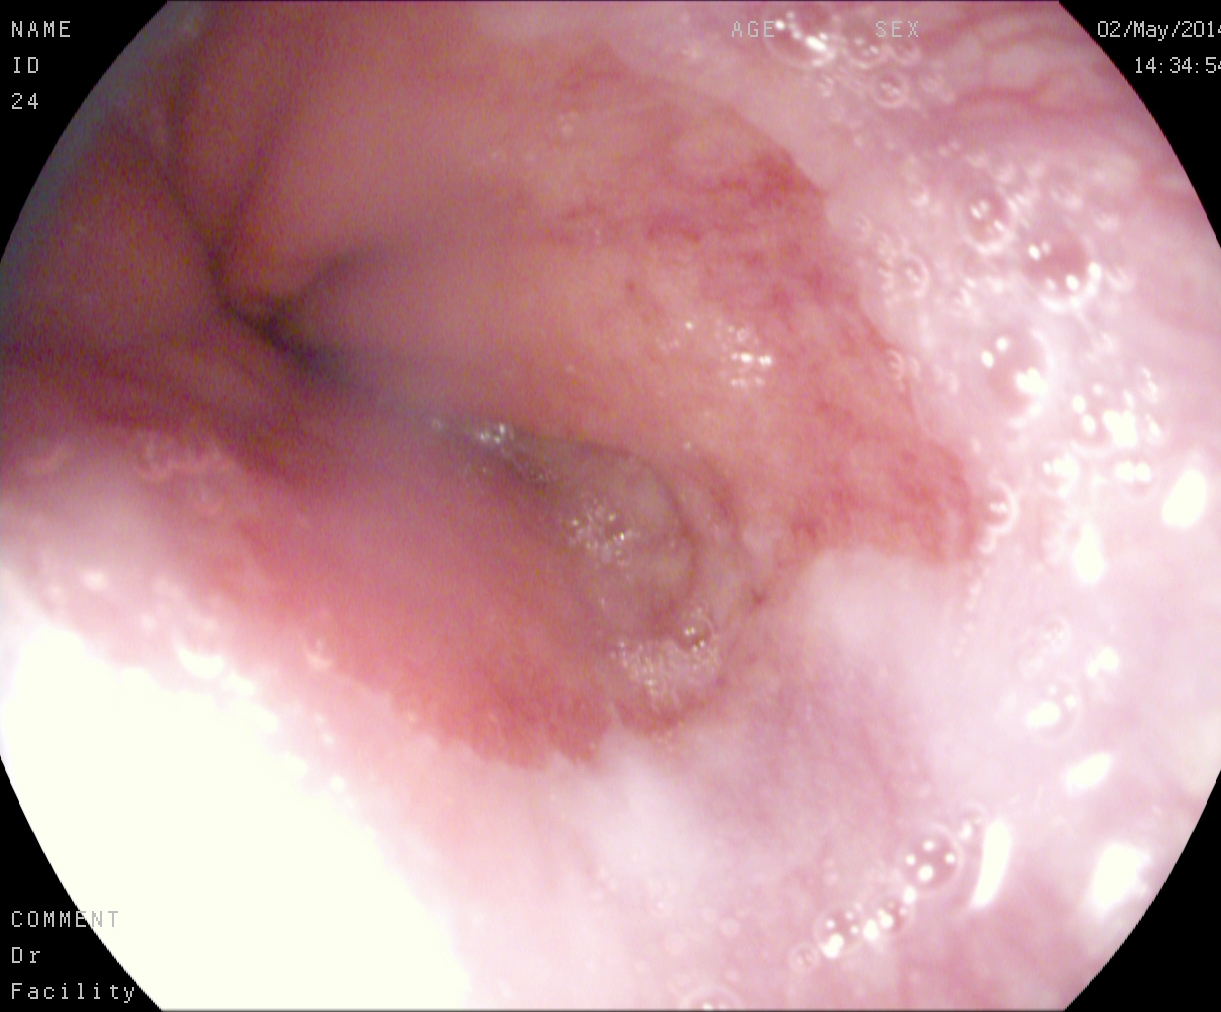modality: esophagogastroduodenoscopy
tract: upper GI tract
category: pathological finding
finding: Barrett's esophagus